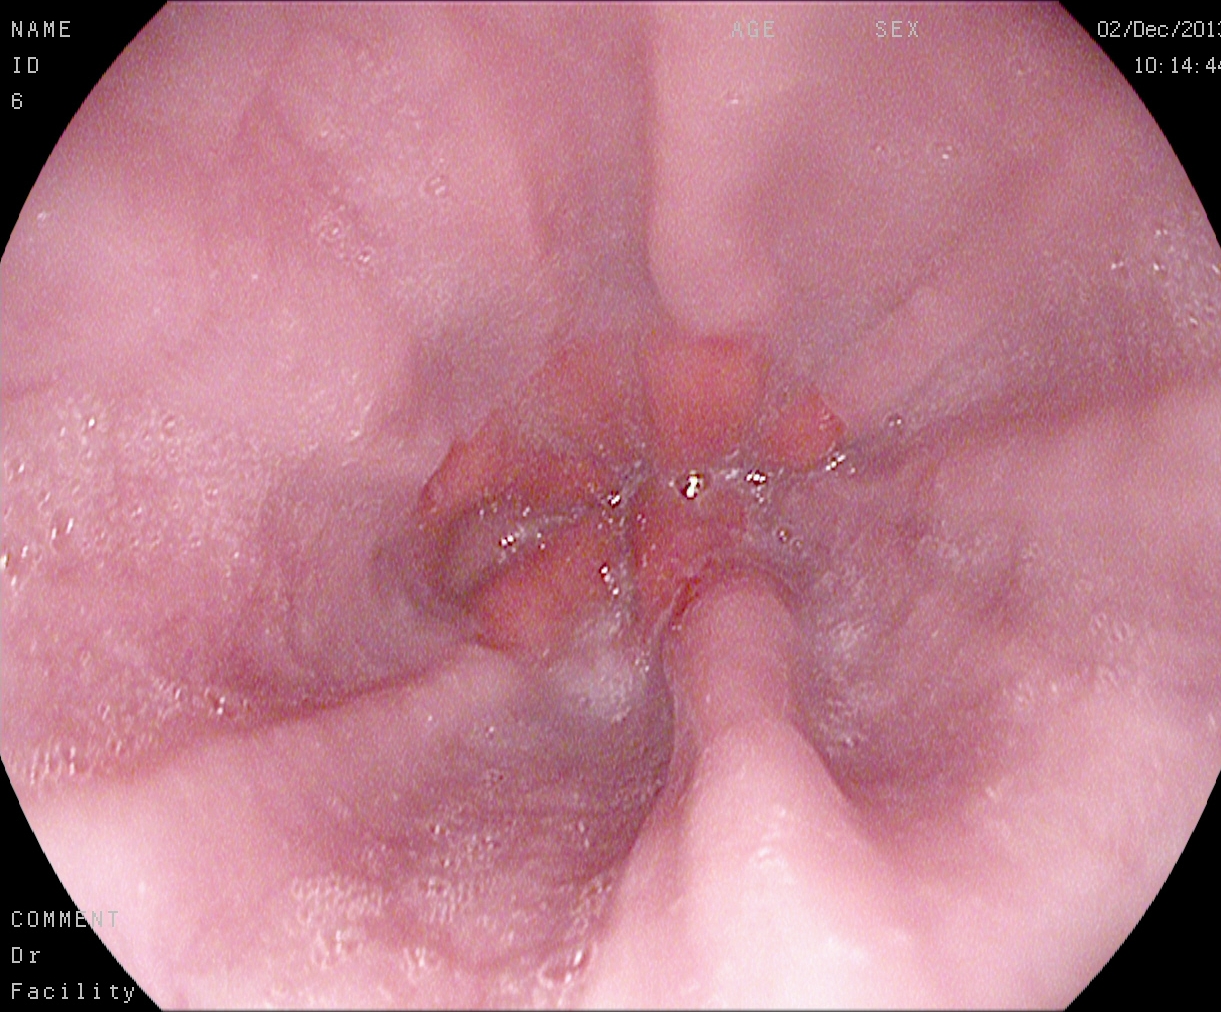EGD. Tract: upper GI tract. Finding: Z-line (gastroesophageal junction).